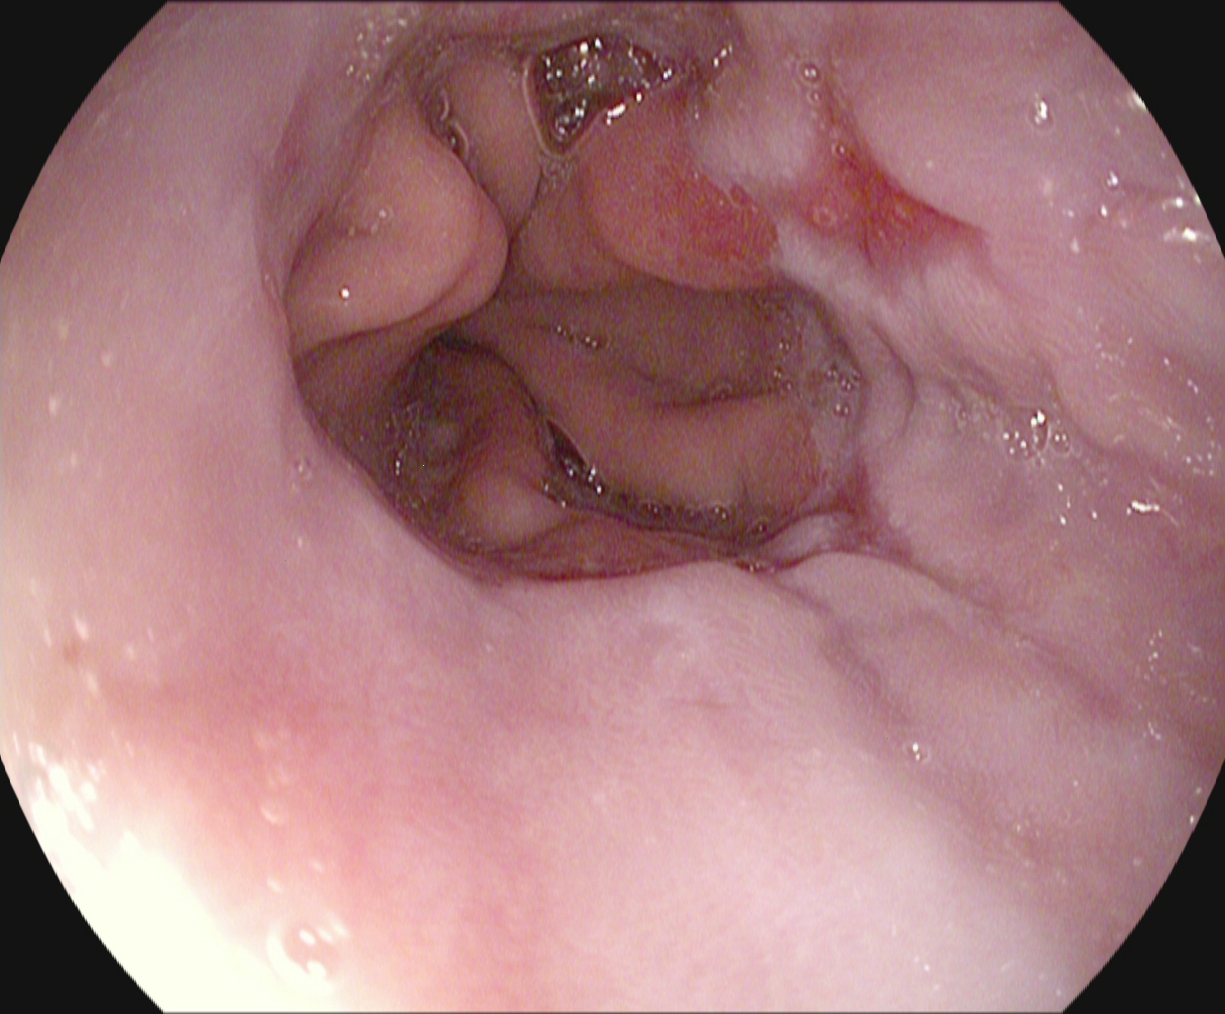This endoscopy frame of the upper GI tract shows reflux esophagitis, LA grade A.